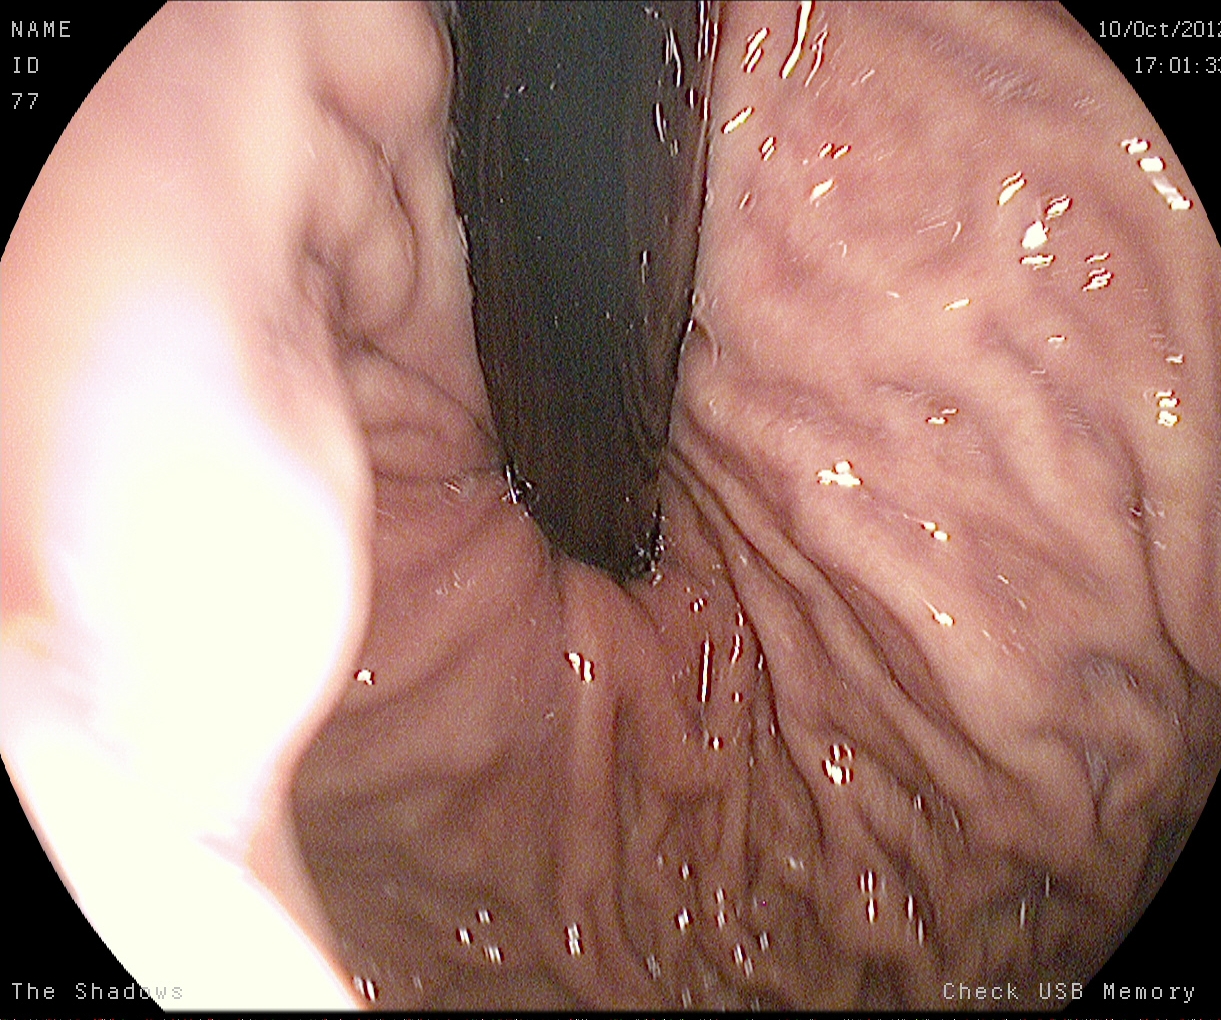Gastroscopy. Finding: stomach in retroflexion.